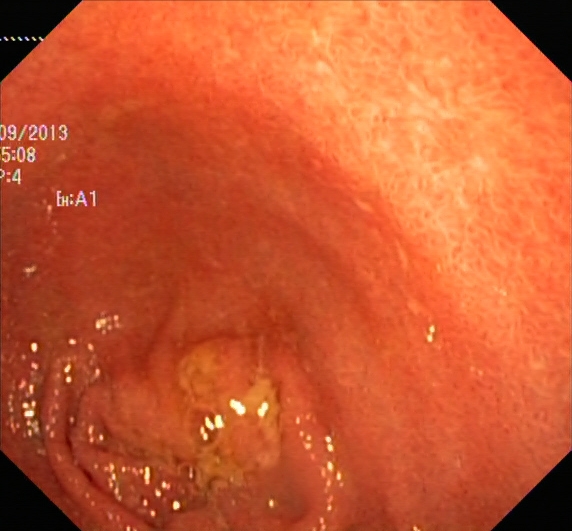modality: lower gastrointestinal endoscopy | tract: lower GI tract | finding: ulcerative colitis, Mayo endoscopic subscore 2